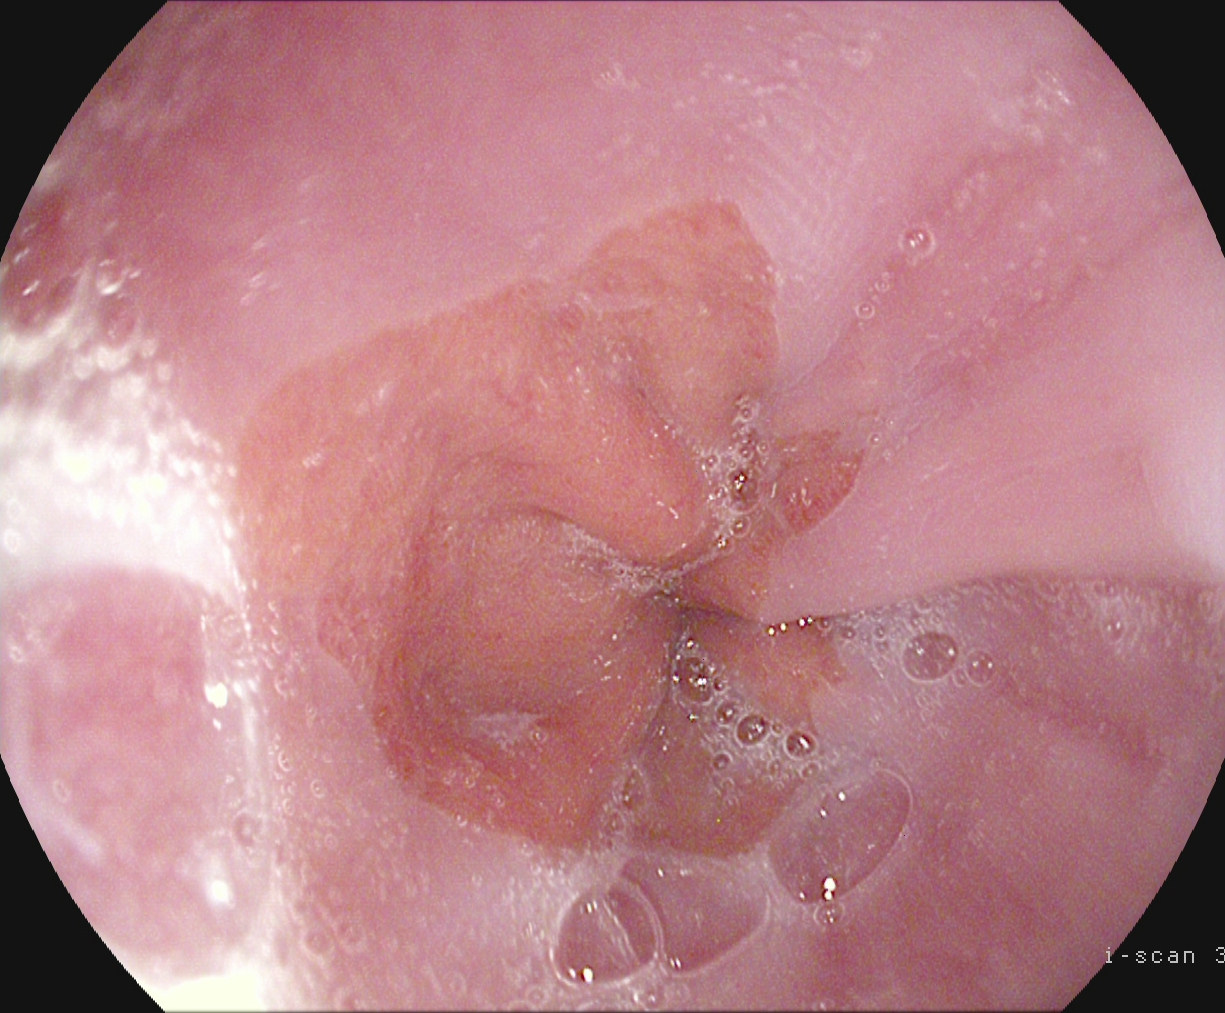Gastroscopy image showing Z-line (gastroesophageal junction).